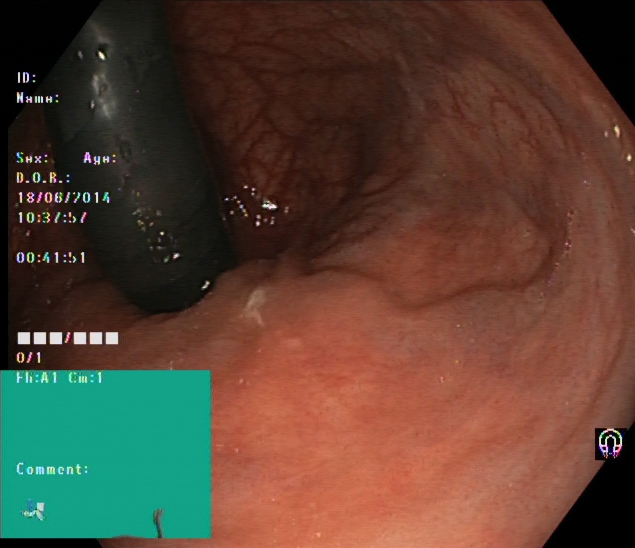{"modality": "colonoscopy", "tract": "lower GI tract", "category": "anatomical landmark", "finding": "rectum in retroflexion"}